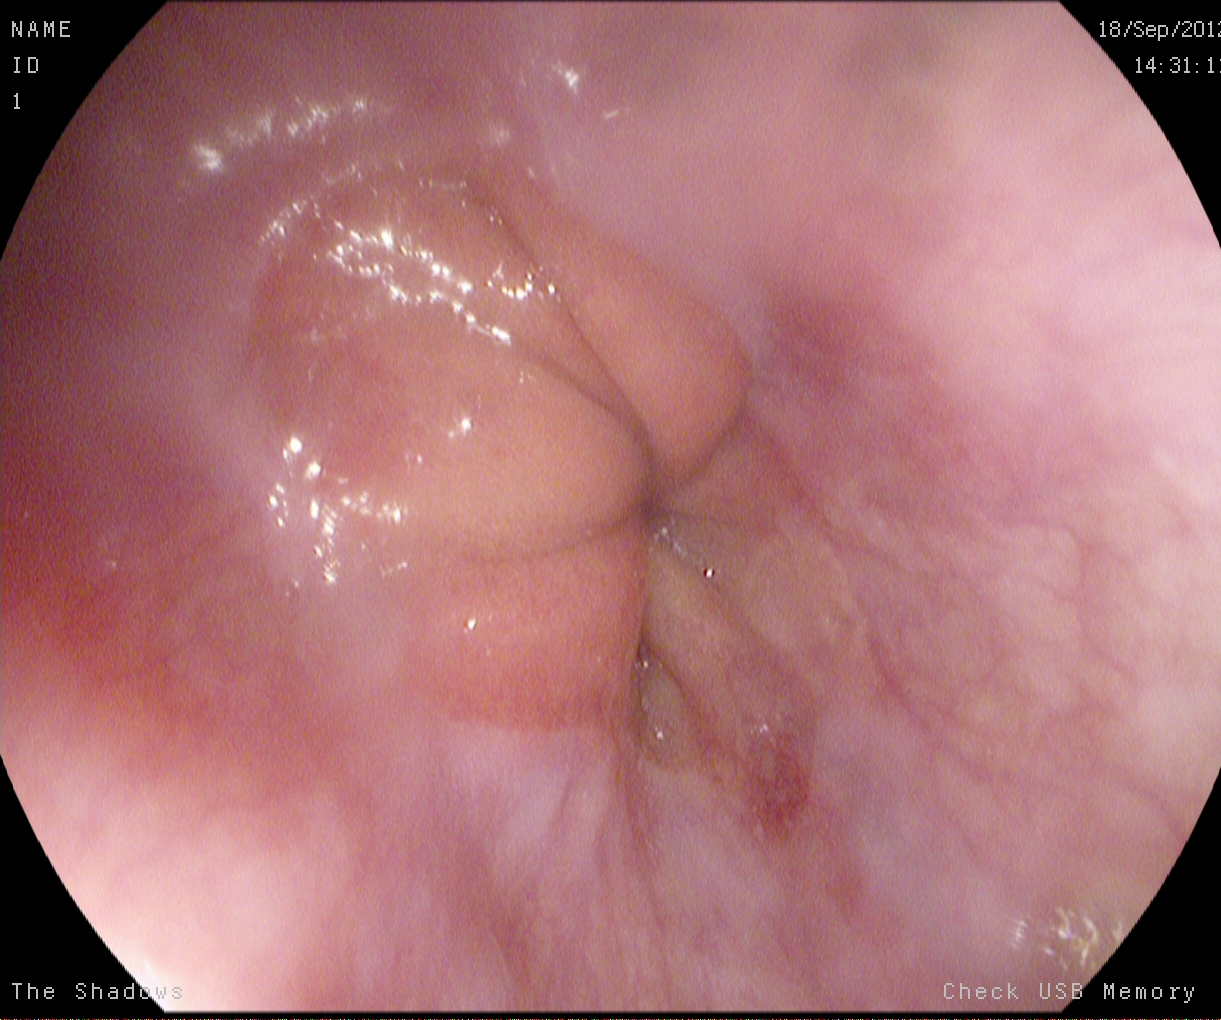{"modality": "esophagogastroduodenoscopy", "tract": "upper GI tract", "category": "pathological finding", "finding": "reflux esophagitis, Los Angeles grade A"}